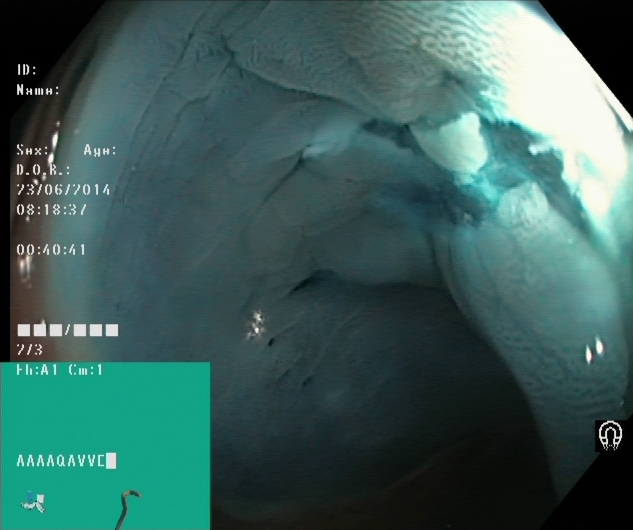{"modality": "lower-GI endoscopy", "tract": "lower GI tract", "finding": "dyed resection margins (post-polypectomy)"}